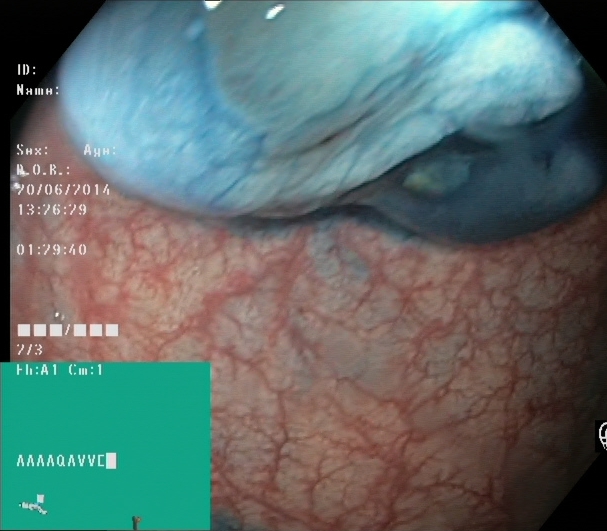Dyed and lifted polyp (pre-resection).